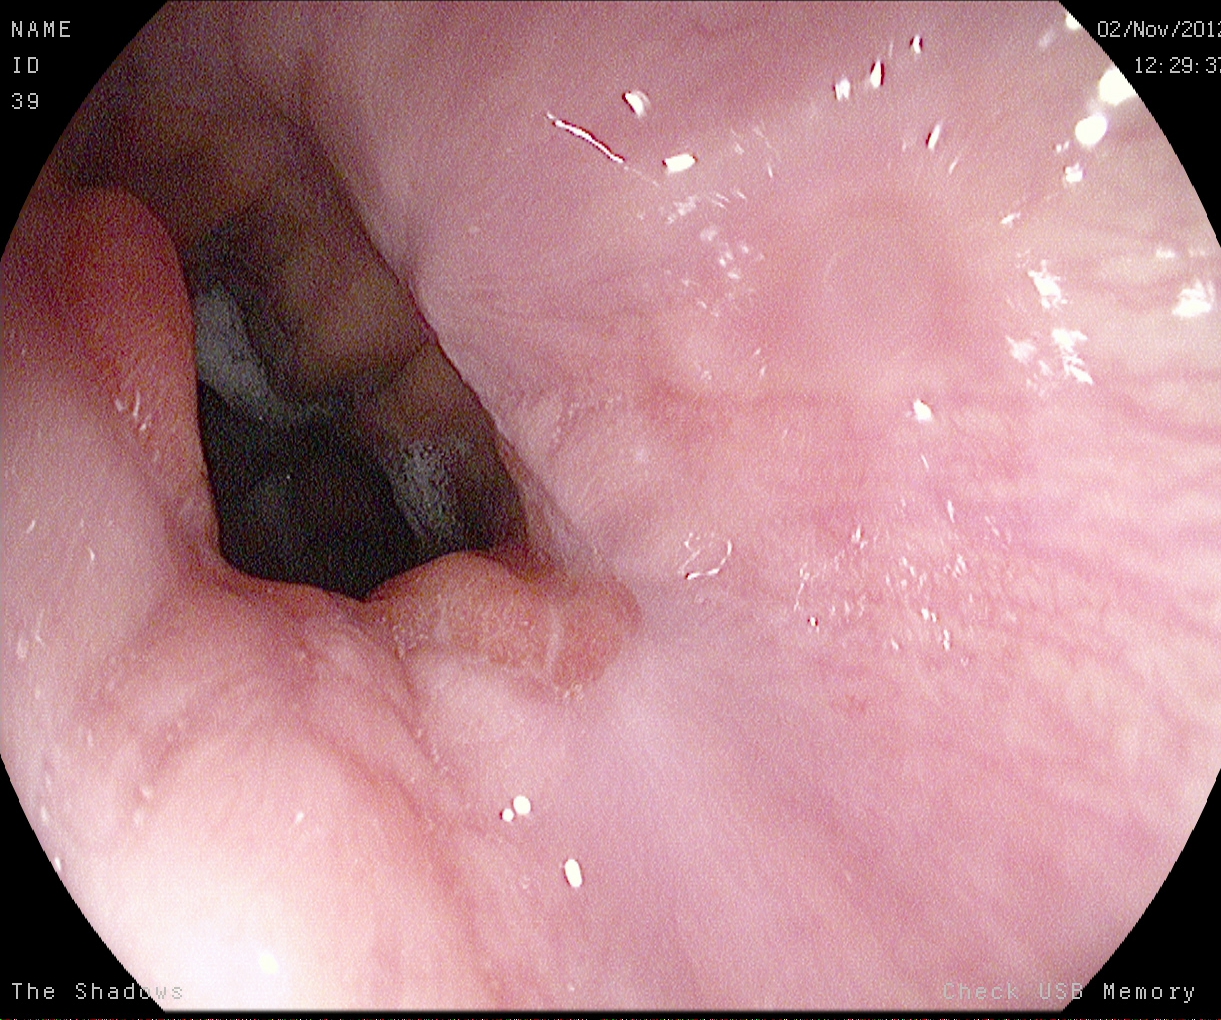Esophagogastroduodenoscopy — Z-line (gastroesophageal junction).